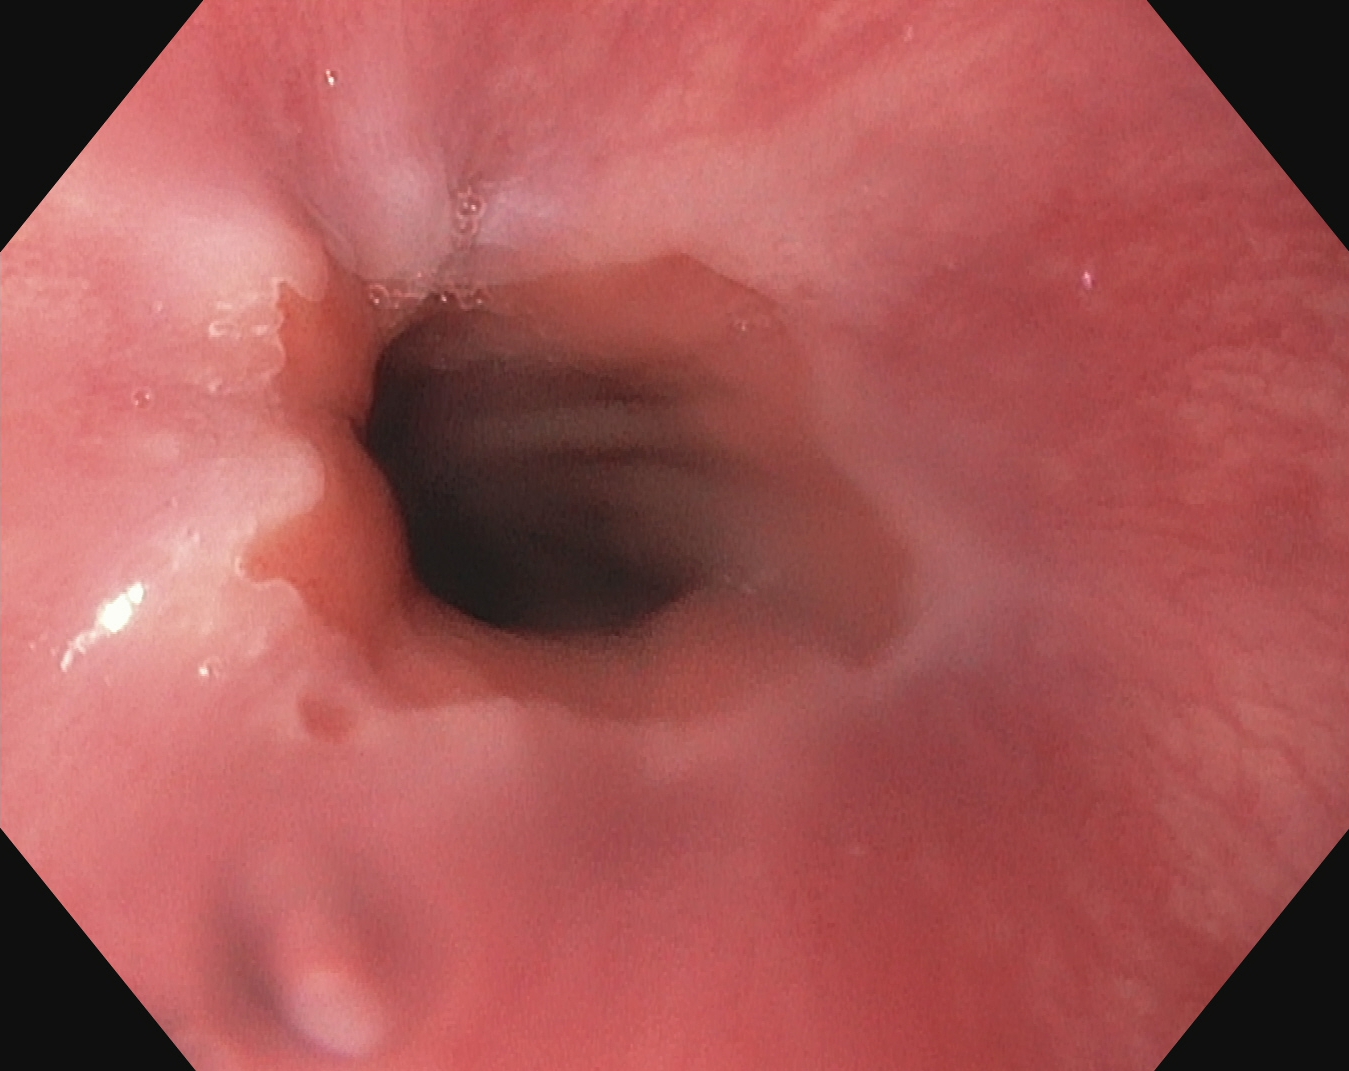EGD. Tract: upper GI tract. Anatomical landmark. Finding: Z-line (gastroesophageal junction).